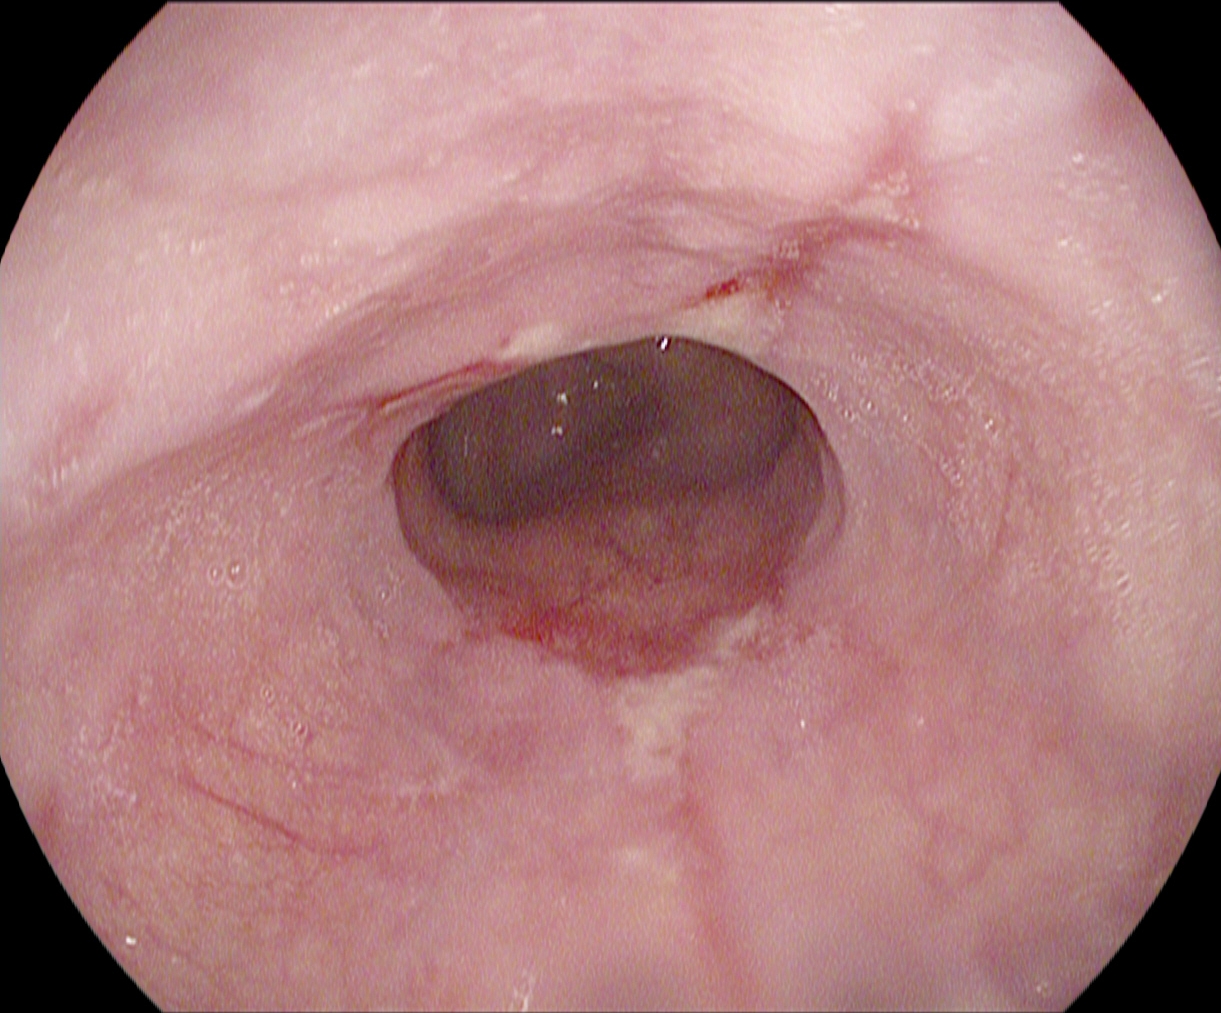Reflux esophagitis, Los Angeles grade A.